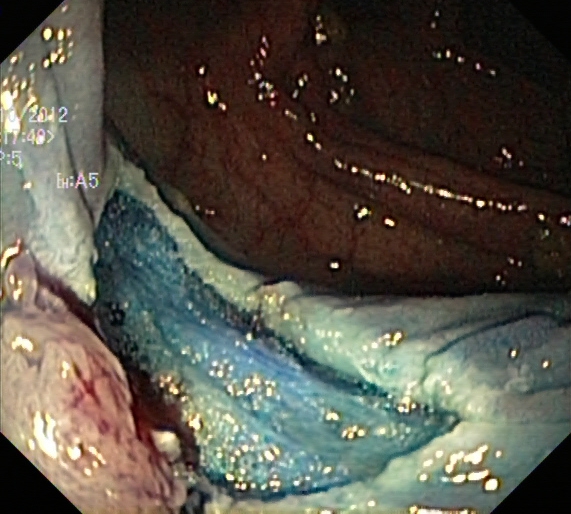Gastrointestinal endoscopy image of the lower GI tract showing dyed resection margins (post-polypectomy).